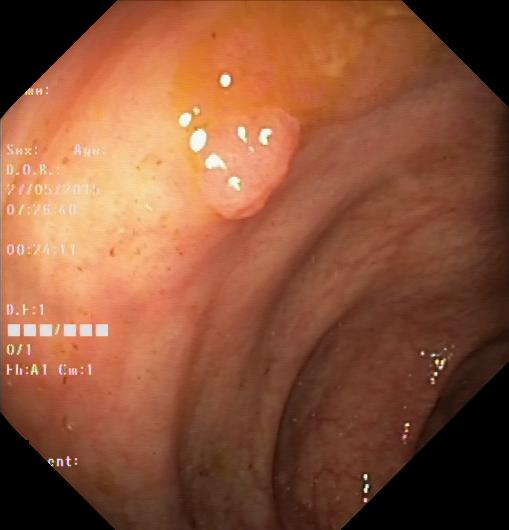modality: colonoscopy
category: pathological finding
finding: colorectal polyp(s)